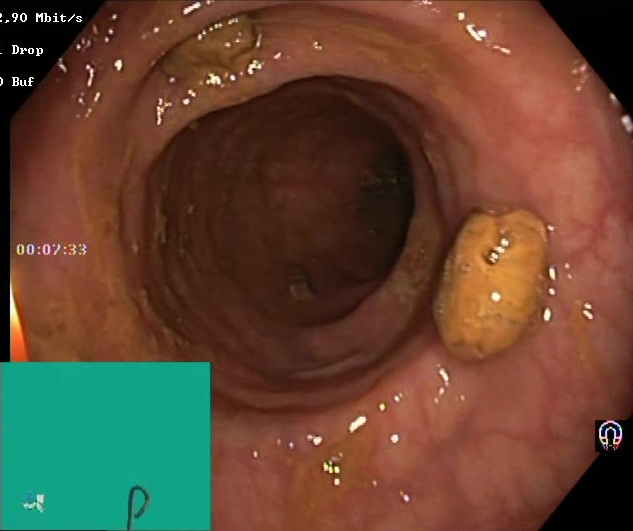This endoscopy frame shows Boston Bowel Preparation Scale score 2–3 (adequate preparation).